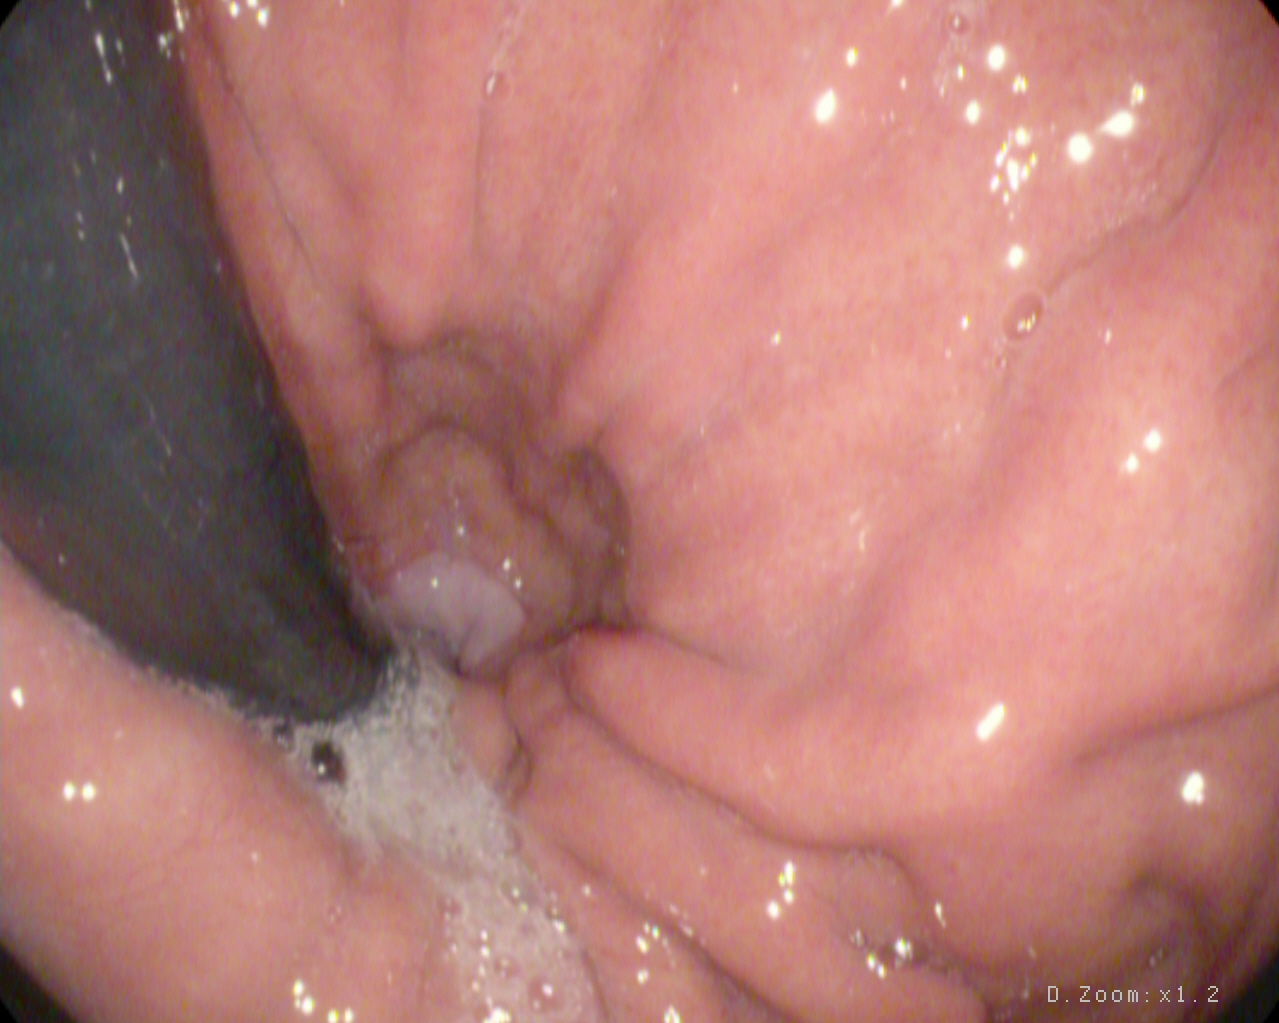PROCEDURE: Gastroscopy.
CATEGORY: Anatomical landmark.
FINDINGS: Stomach in retroflexion.